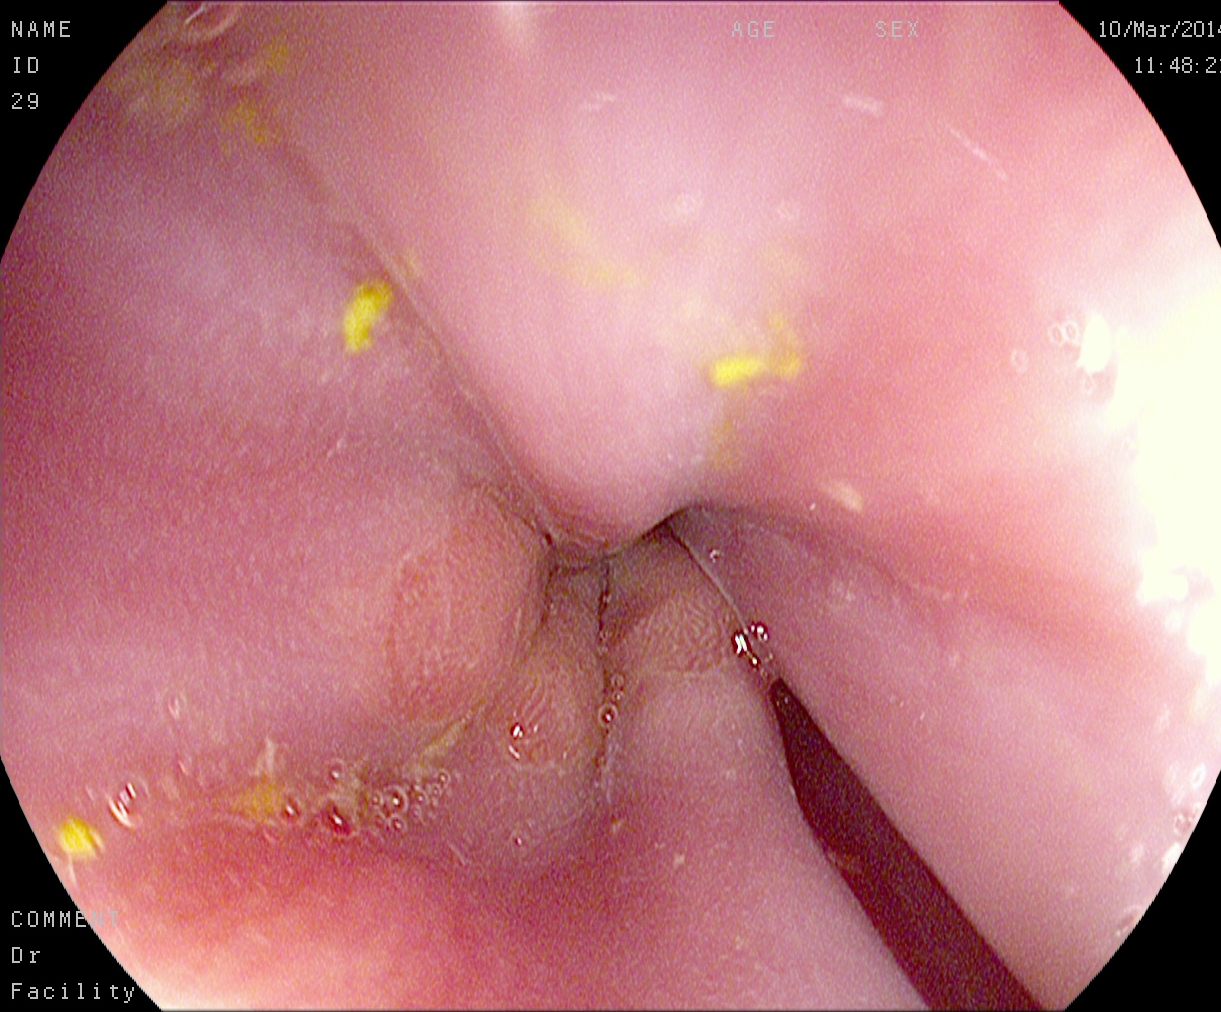PROCEDURE: EGD.
FINDINGS: Z-line (gastroesophageal junction).